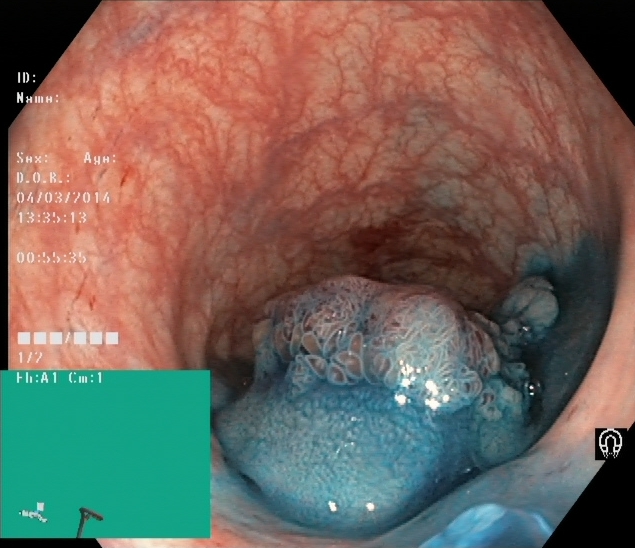This endoscopy frame of the lower GI tract shows dyed and lifted polyp (pre-resection).